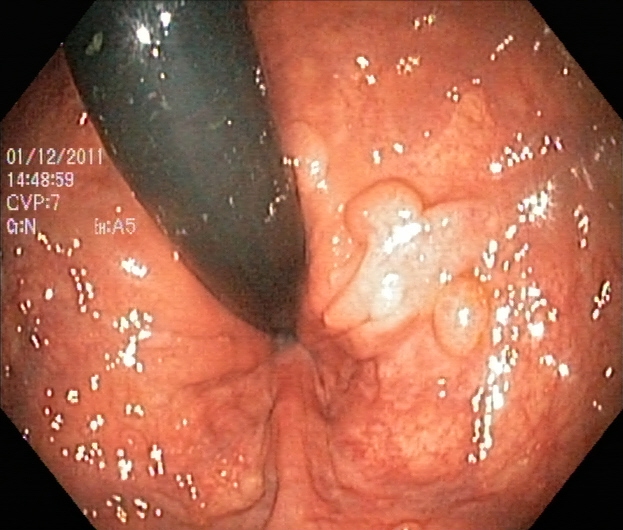Lower gastrointestinal endoscopy. Pathological finding. Finding: colorectal polyp(s).